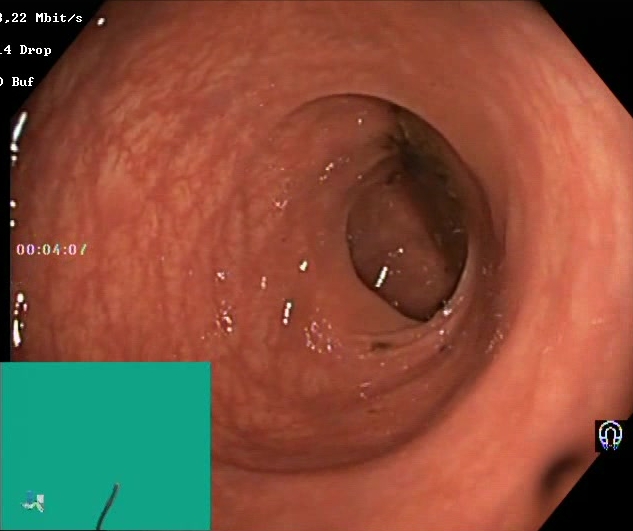This endoscopic image shows Boston Bowel Preparation Scale score 0–1 (inadequate preparation).